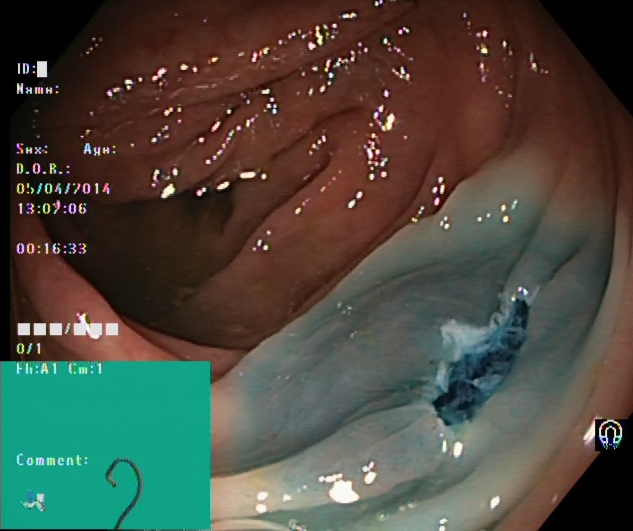Dyed resection margins (post-polypectomy).